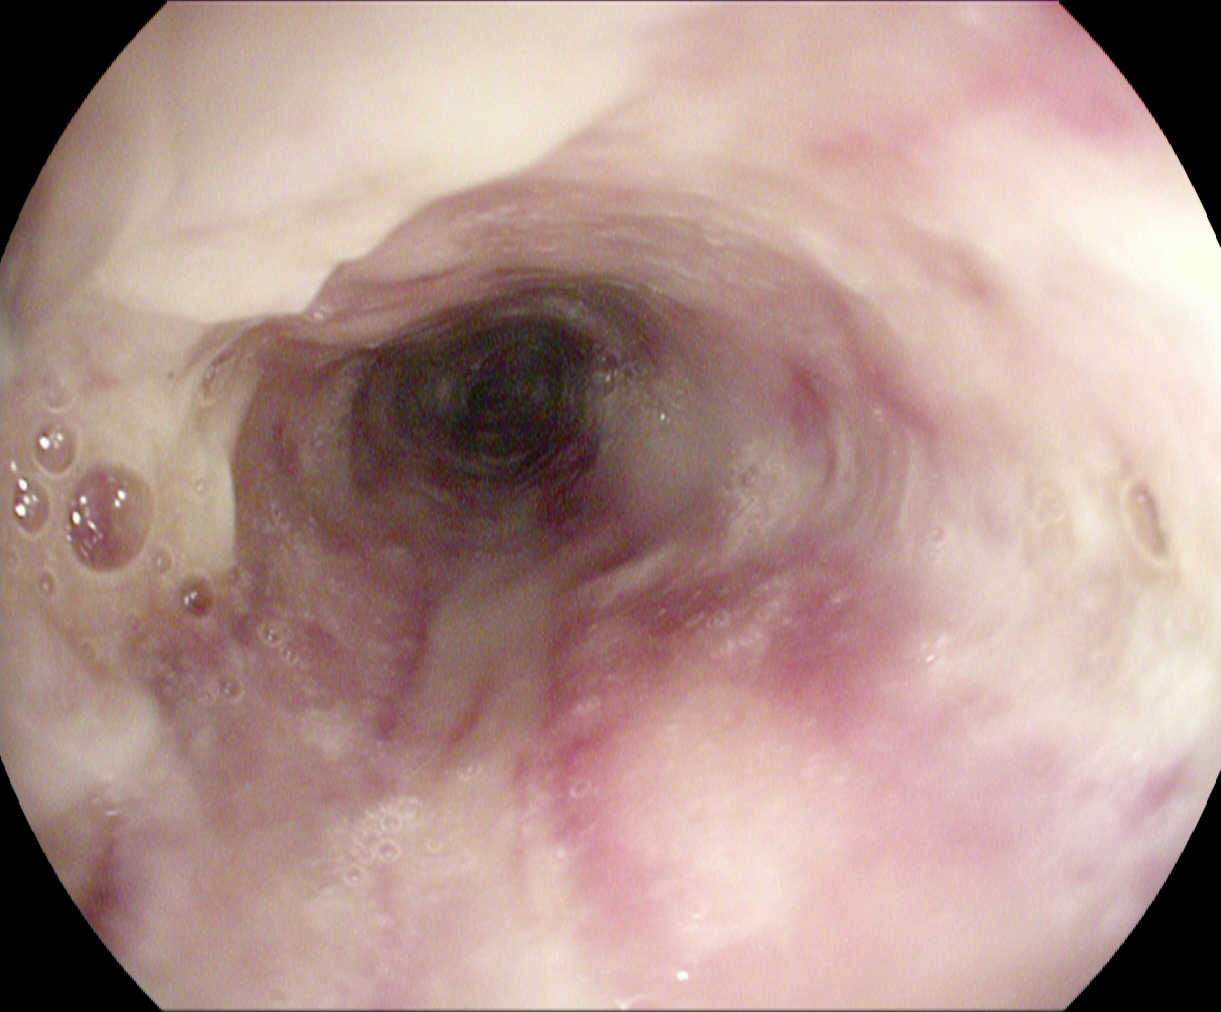This endoscopy frame of the upper GI tract shows reflux esophagitis, Los Angeles grade B–D.